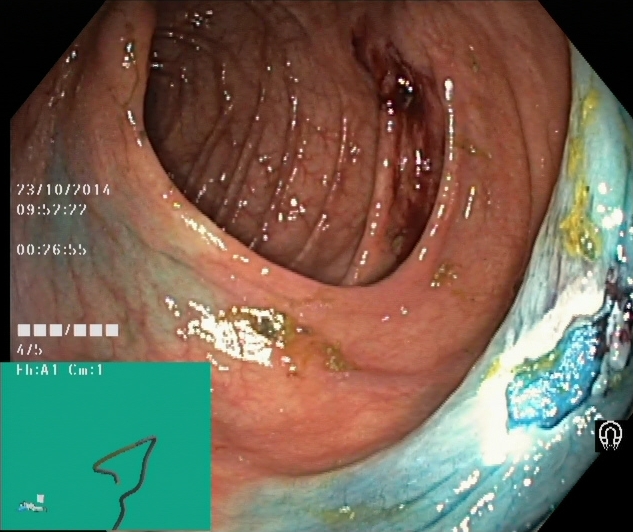PROCEDURE: Colonoscopy.
FINDINGS: Dyed resection margins (post-polypectomy).